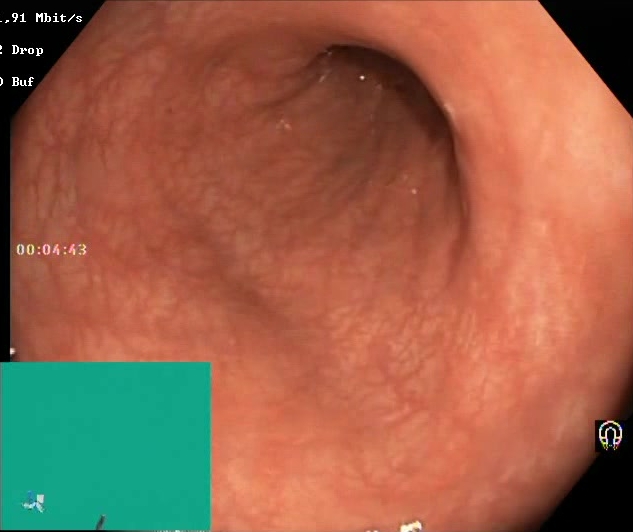Endoscopic frame showing Boston Bowel Preparation Scale score 2–3 (adequate preparation).